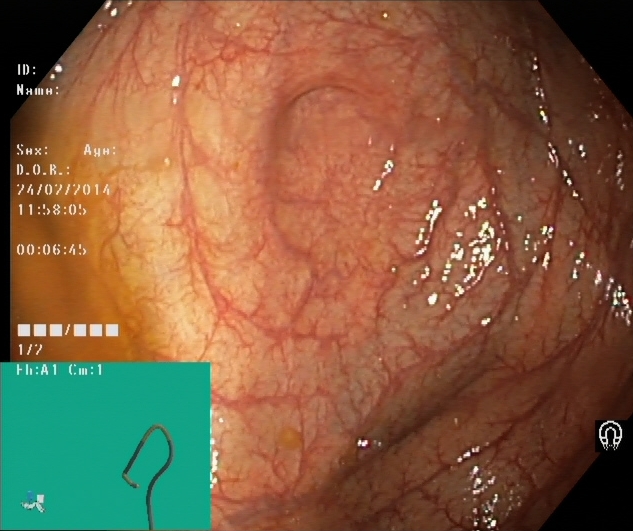Cecum.